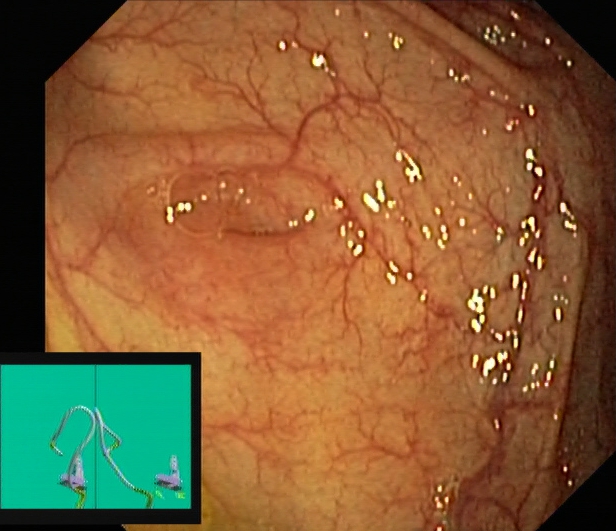Cecum.